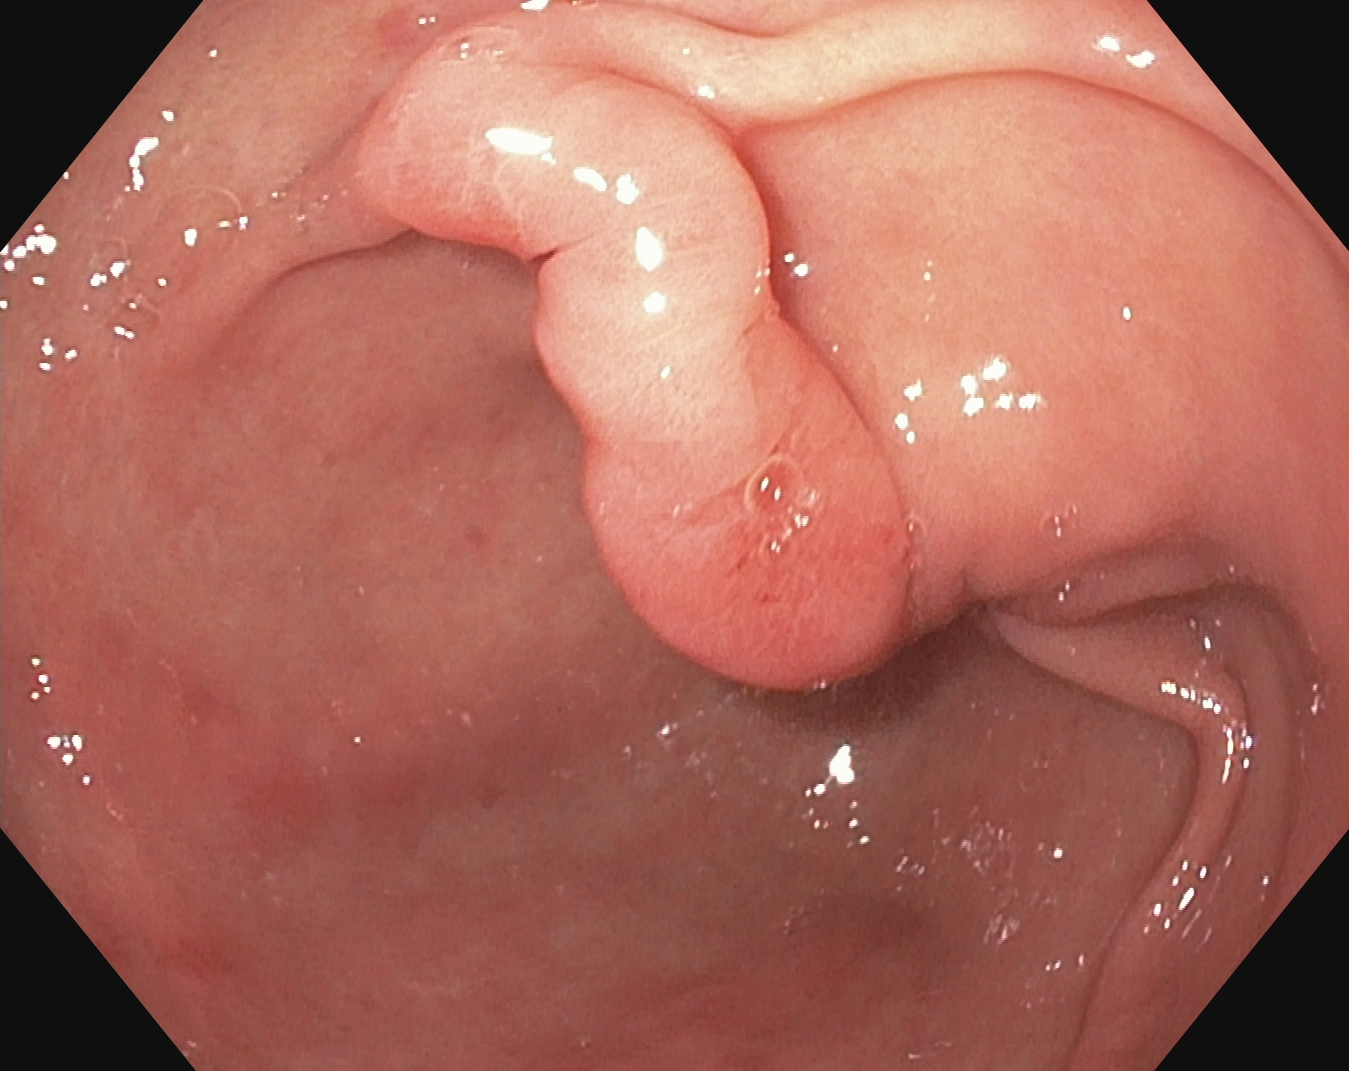PROCEDURE: Upper-GI endoscopy.
CATEGORY: Anatomical landmark.
FINDINGS: Pylorus.